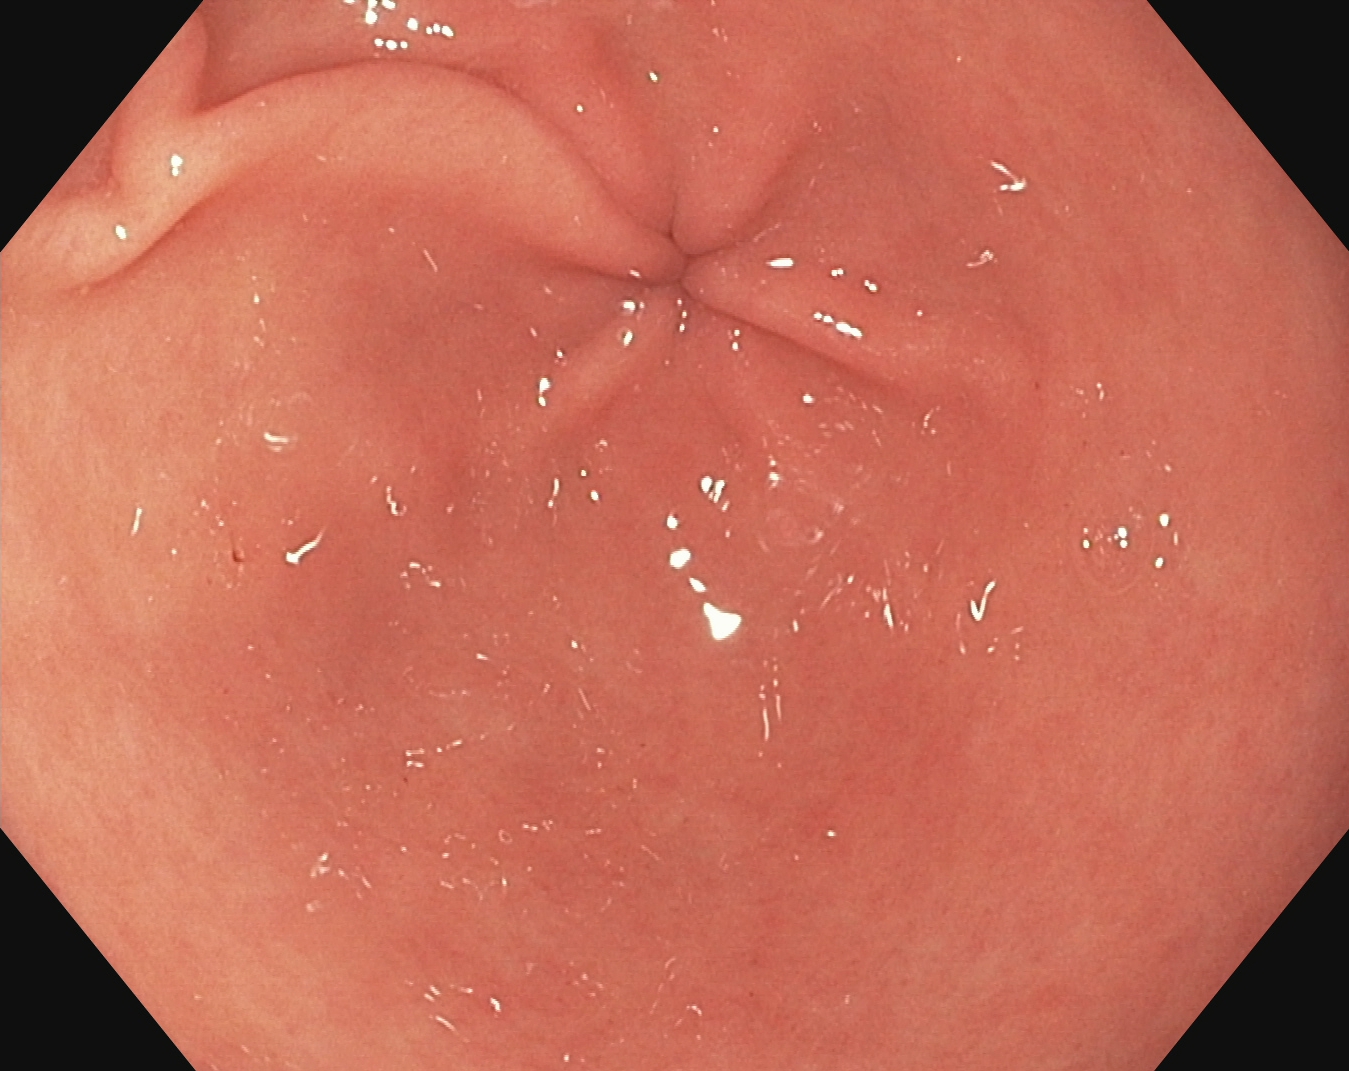PROCEDURE: EGD.
FINDINGS: Pylorus.